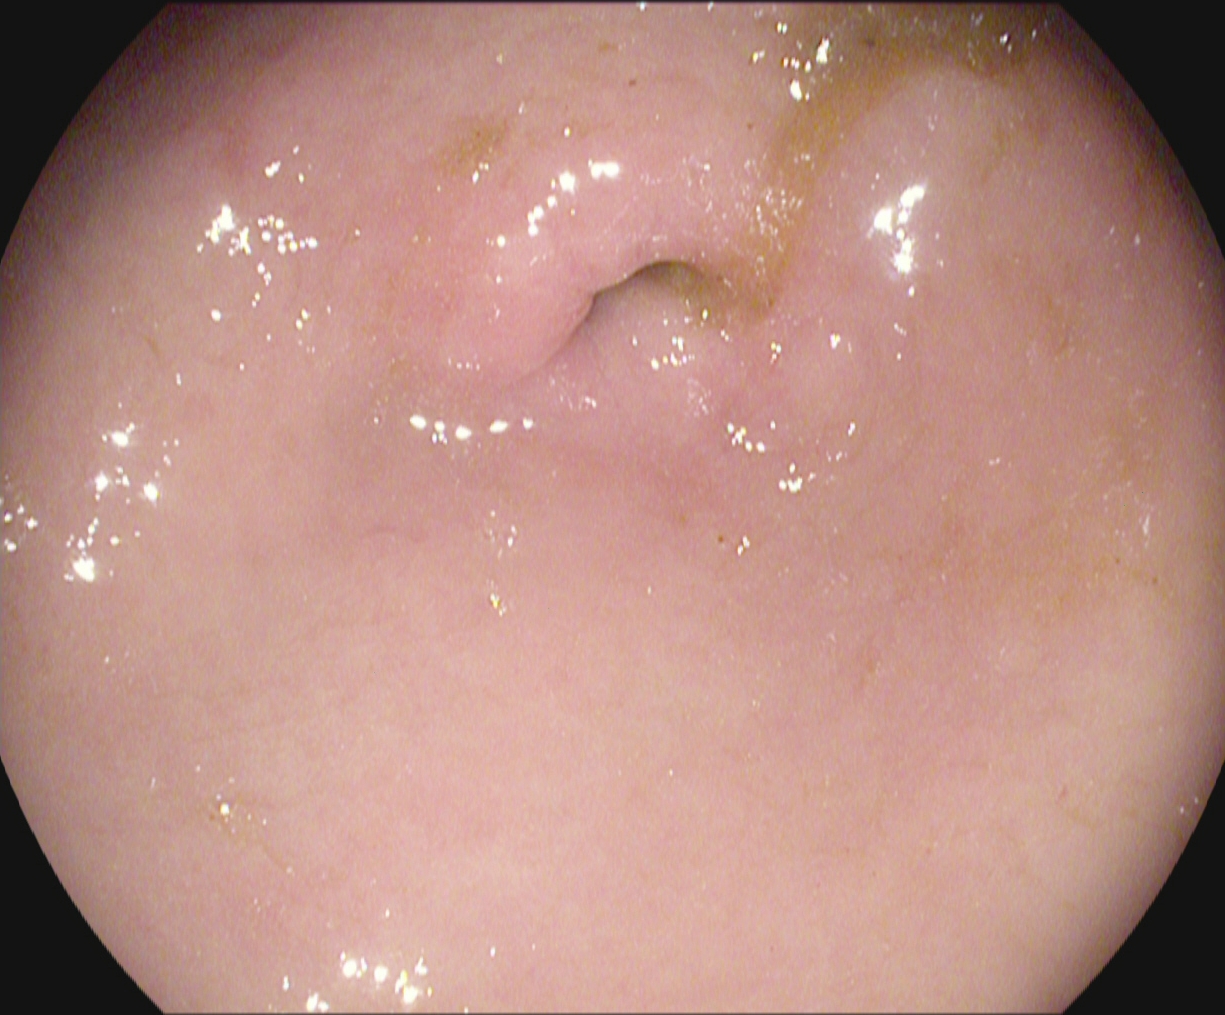EGD. Finding: pylorus.